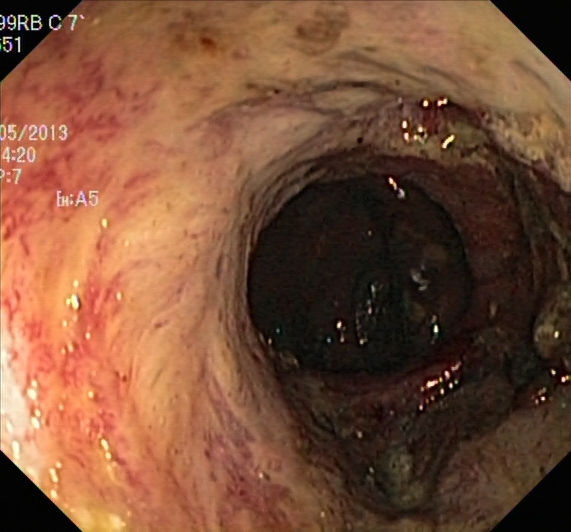Colonoscopy. Tract: lower GI tract. Pathological finding. Finding: ulcerative colitis, Mayo endoscopic subscore 2–3.